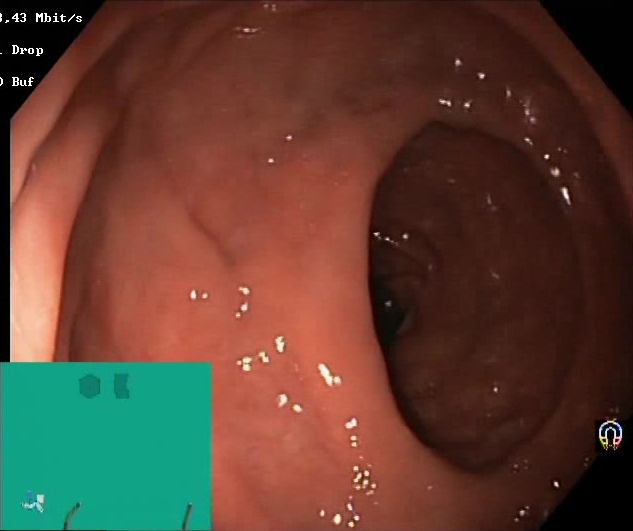BBPS score 2–3 (adequate preparation).